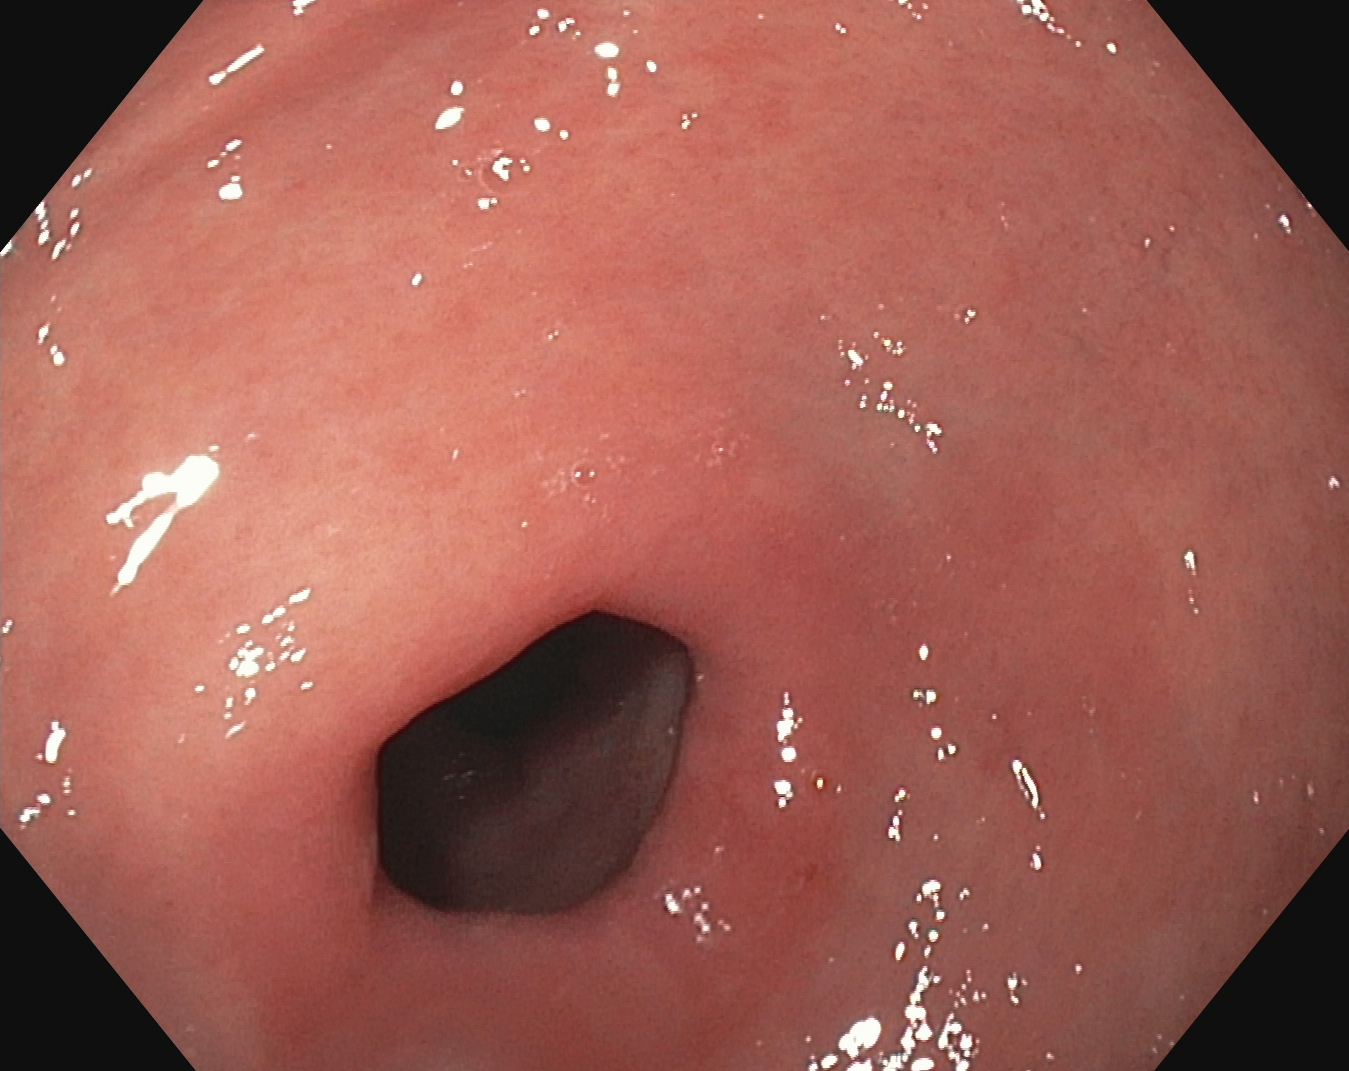Esophagogastroduodenoscopy. Tract: upper GI tract. Finding: pylorus.